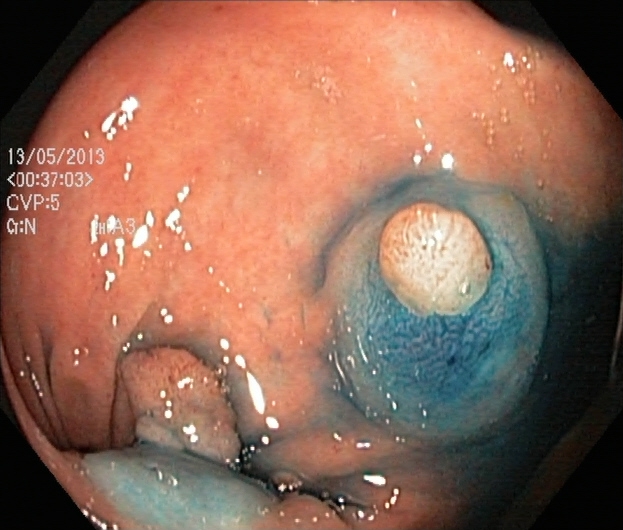modality: lower gastrointestinal endoscopy
tract: lower GI tract
category: therapeutic intervention
finding: dyed and lifted polyp (pre-resection)